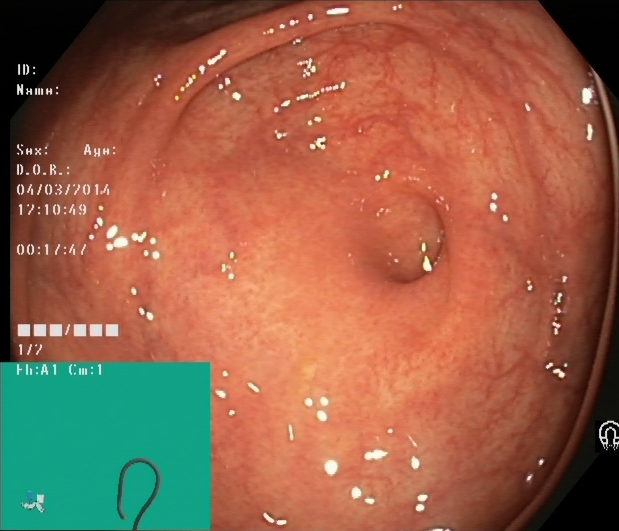Colonoscopy. Tract: lower GI tract. Anatomical landmark. Finding: cecum.